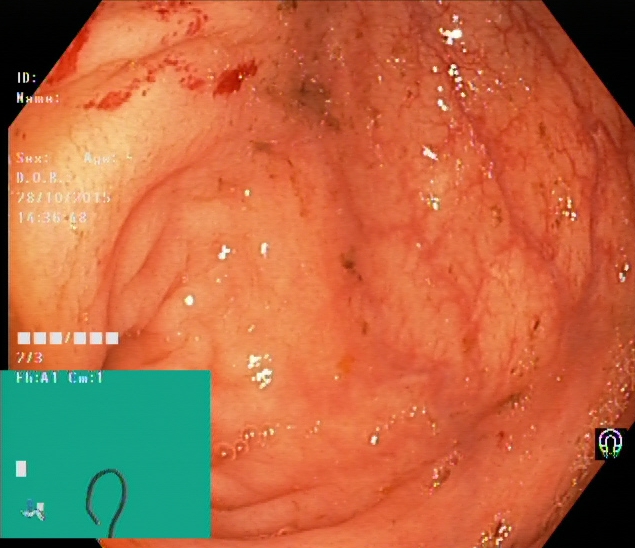PROCEDURE: Colonoscopy.
CATEGORY: Anatomical landmark.
FINDINGS: Cecum.